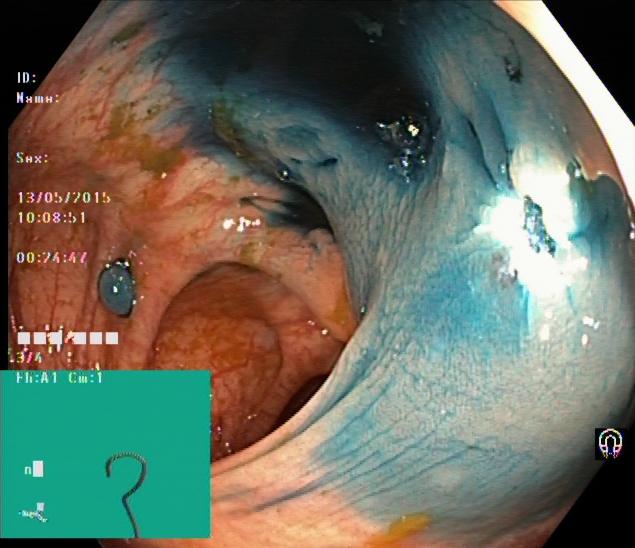modality: colonoscopy
finding: dyed resection margins (post-polypectomy)